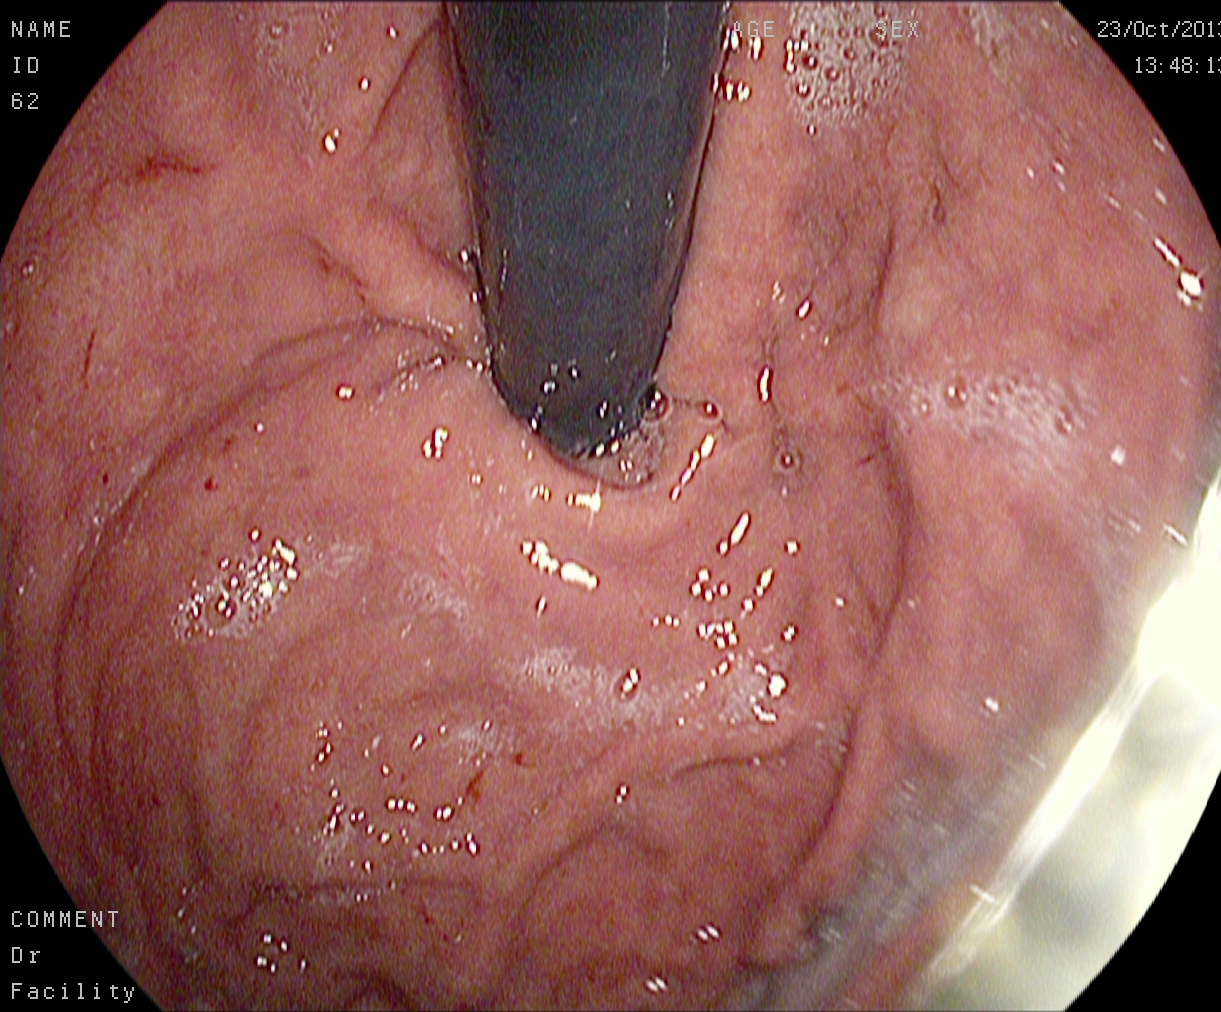Gastroscopy — stomach in retroflexion.